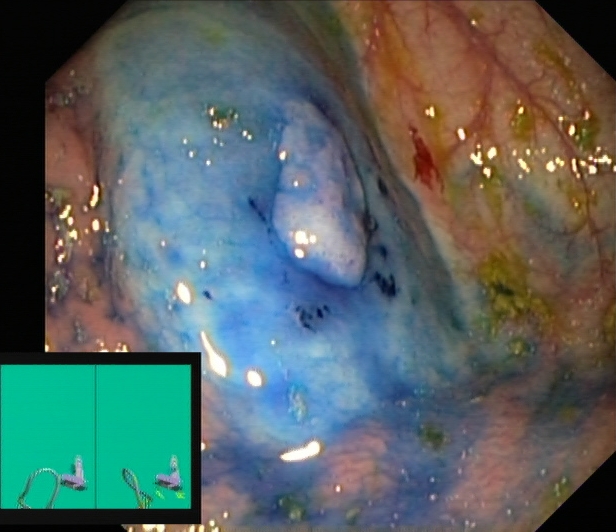dyed and lifted polyp (pre-resection).